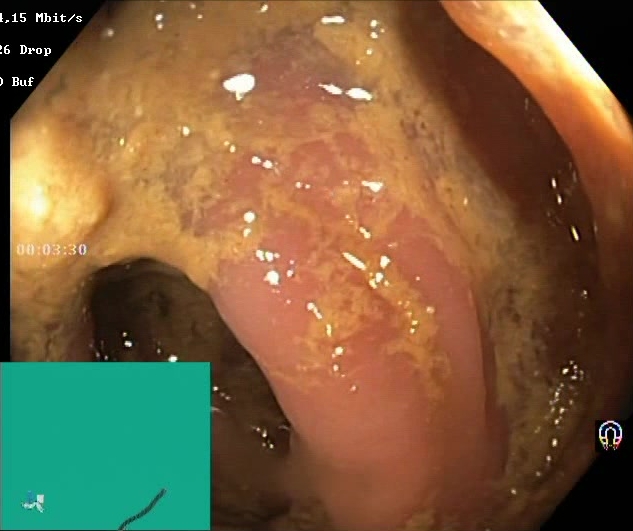PROCEDURE: Lower gastrointestinal endoscopy.
CATEGORY: Mucosal-view quality.
FINDINGS: Boston Bowel Preparation Scale score 0–1 (inadequate preparation).